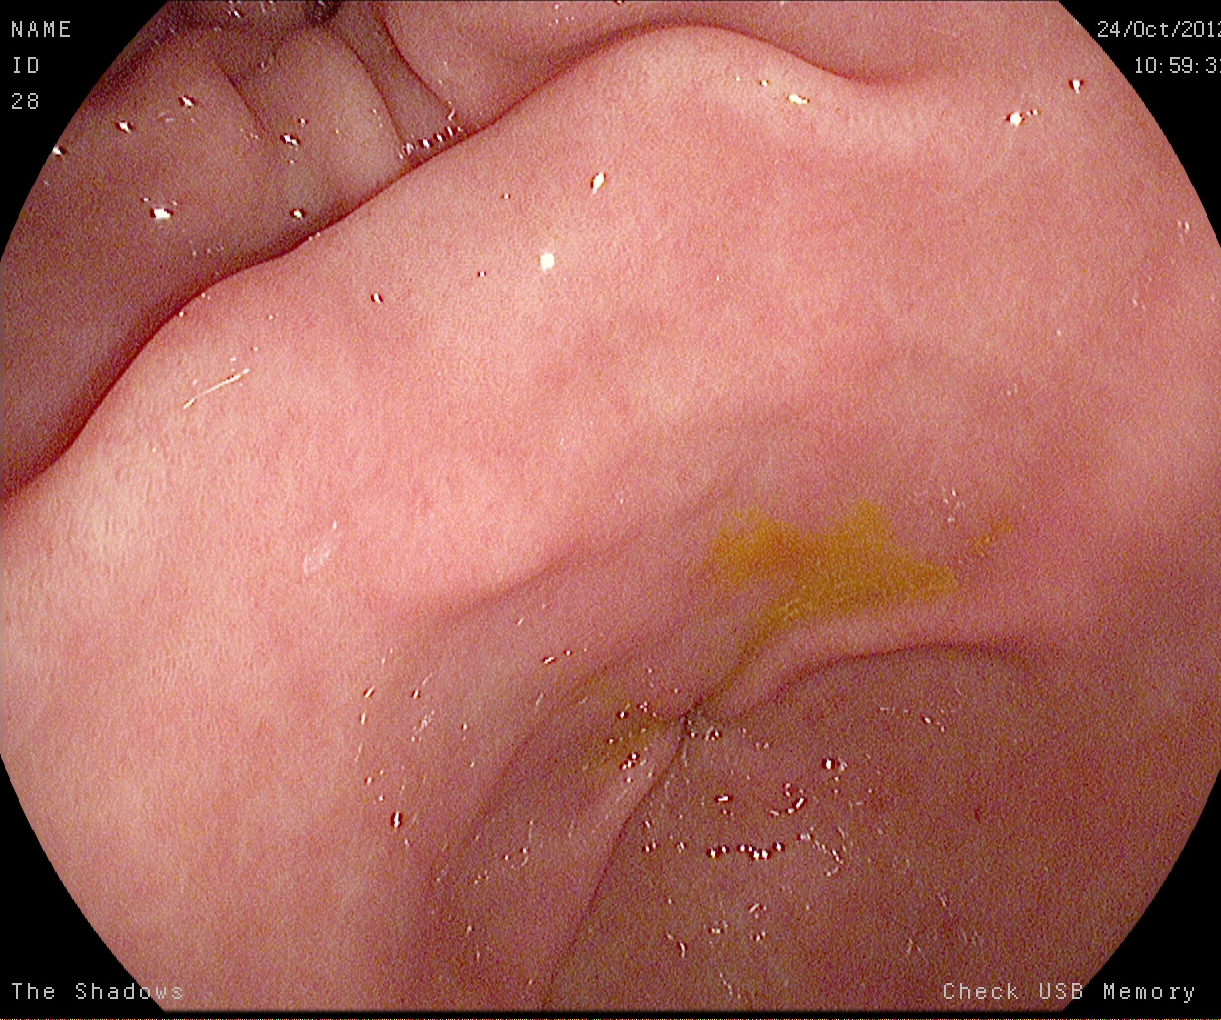Pylorus.